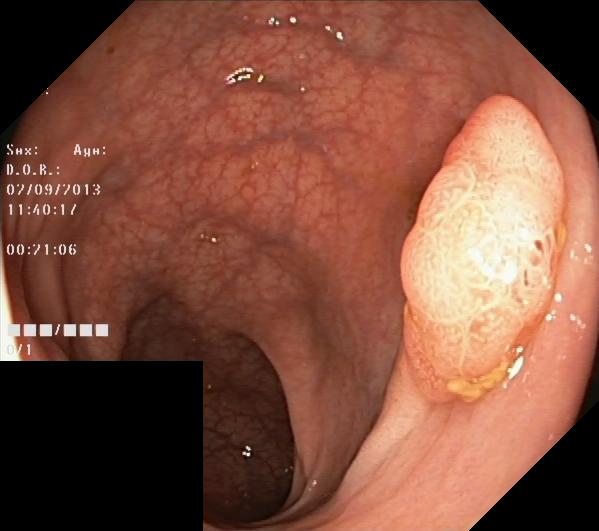This endoscopy frame of the lower GI tract shows colorectal polyp(s).